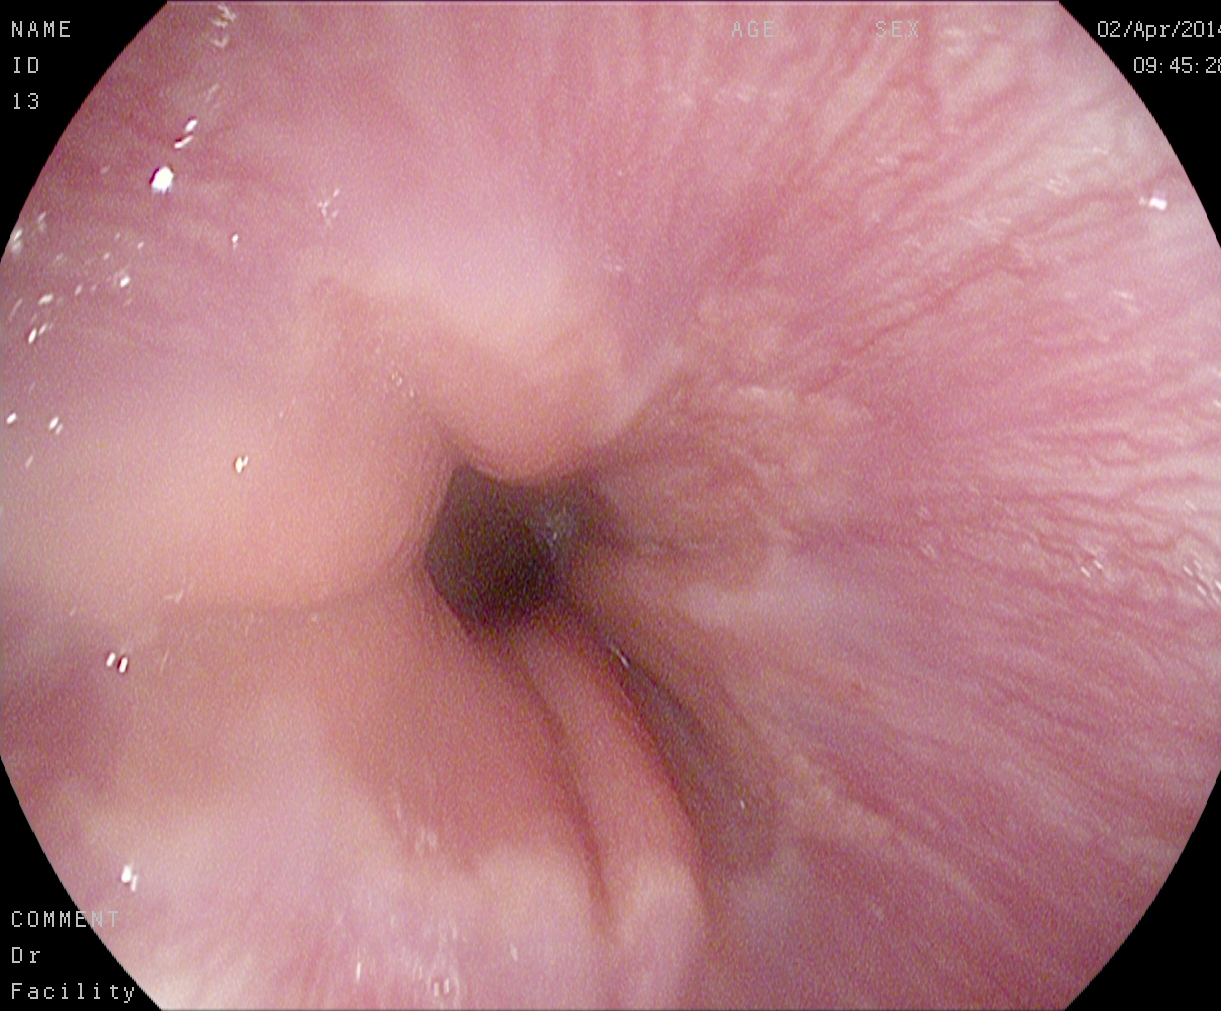PROCEDURE: EGD.
FINDINGS: Z-line (gastroesophageal junction).